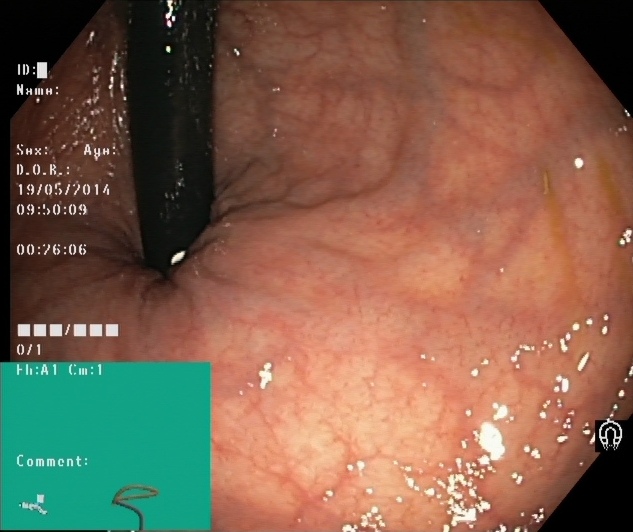{"modality": "colonoscopy", "category": "anatomical landmark", "finding": "rectum in retroflexion"}